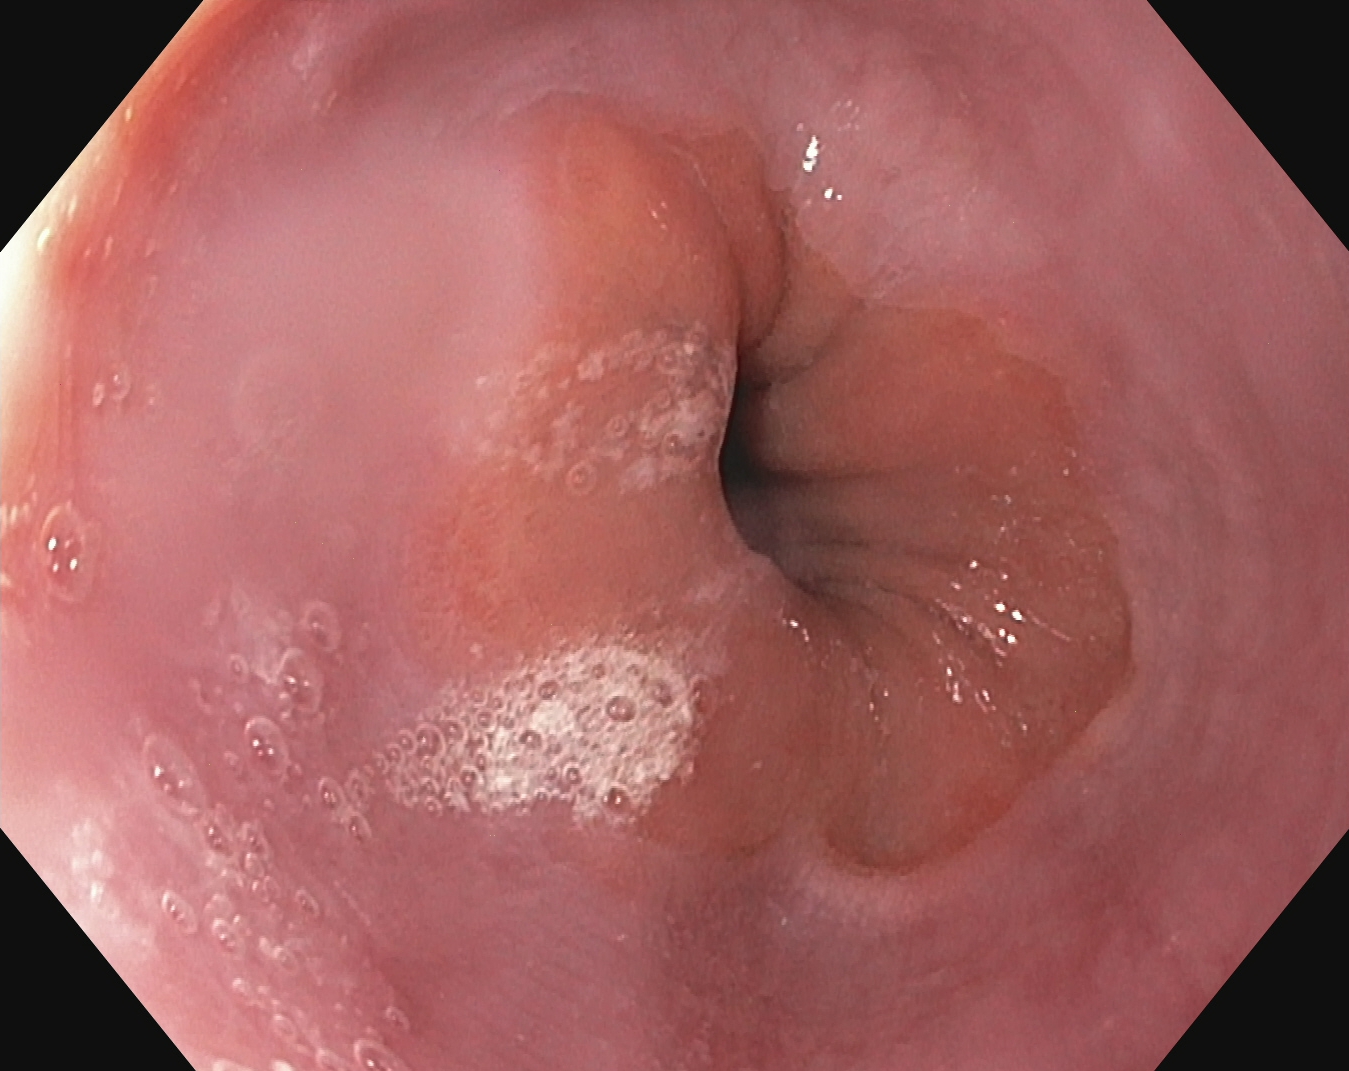This endoscopic image of the upper GI tract shows Z-line (gastroesophageal junction).